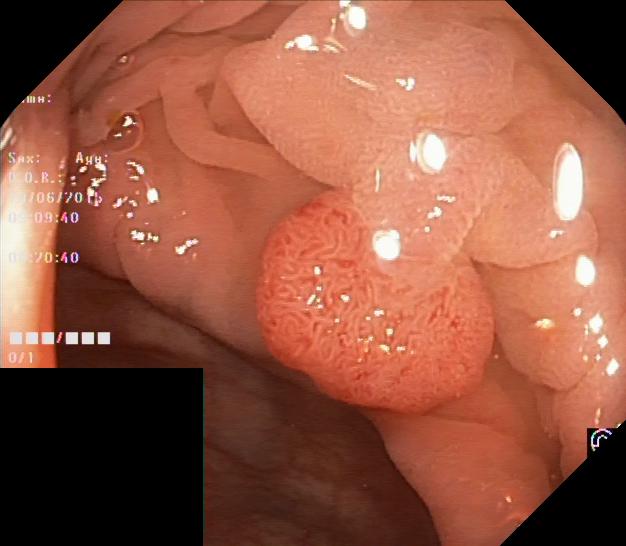Colorectal polyp(s).